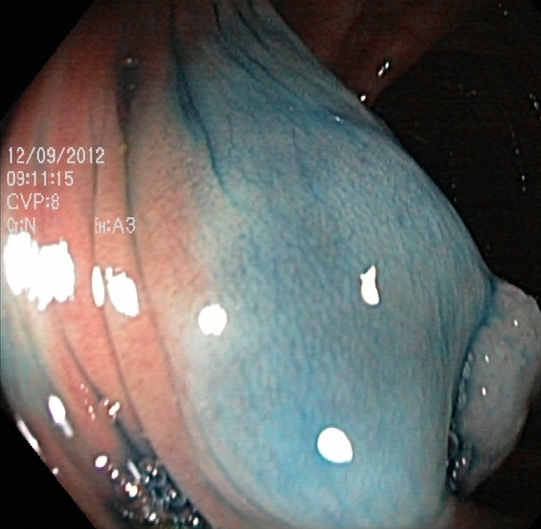PROCEDURE: Lower-GI endoscopy.
CATEGORY: Therapeutic intervention.
FINDINGS: Dyed and lifted polyp (pre-resection).